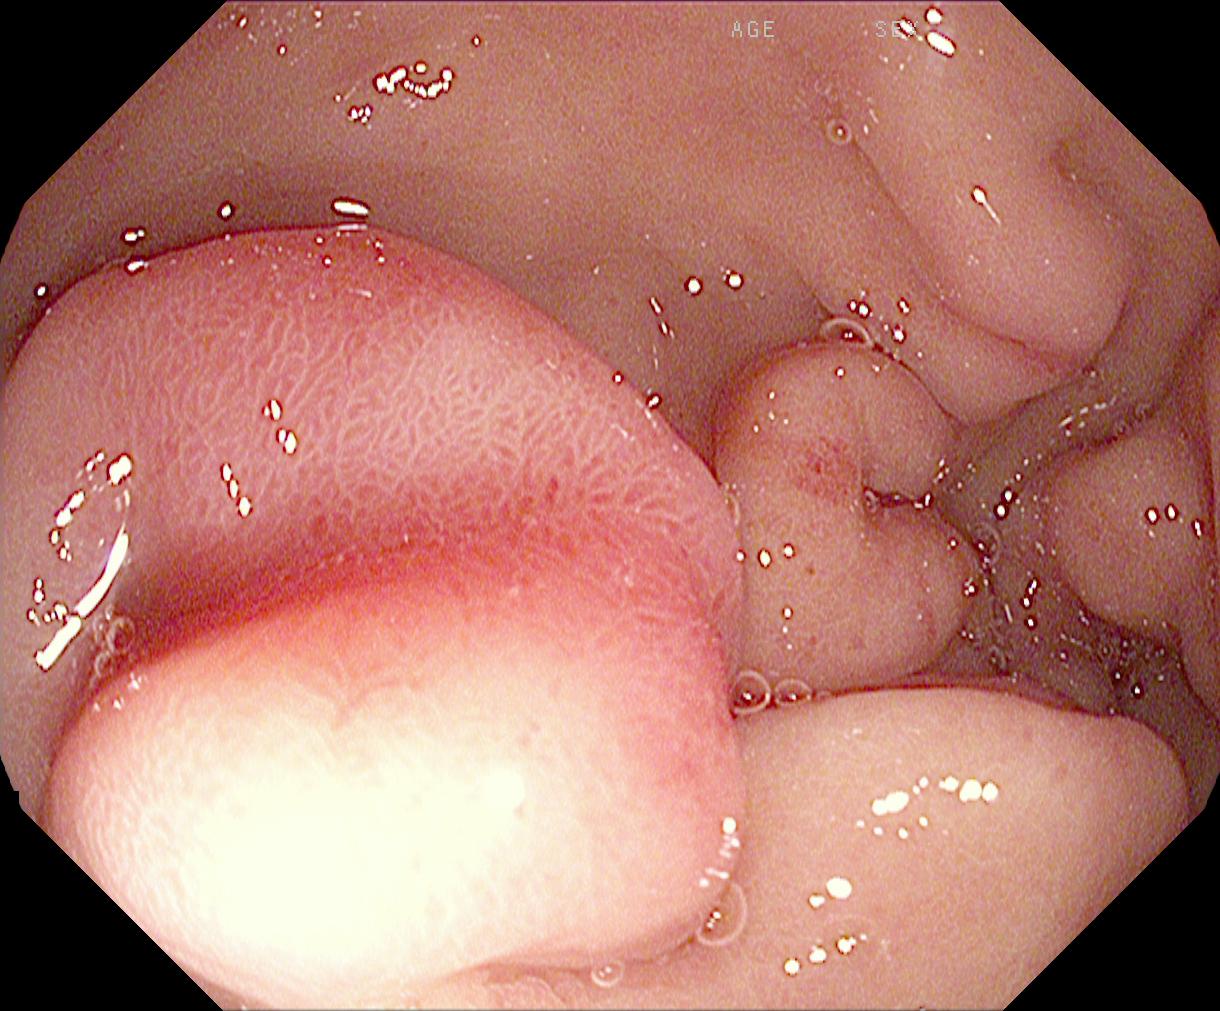colorectal polyp(s).